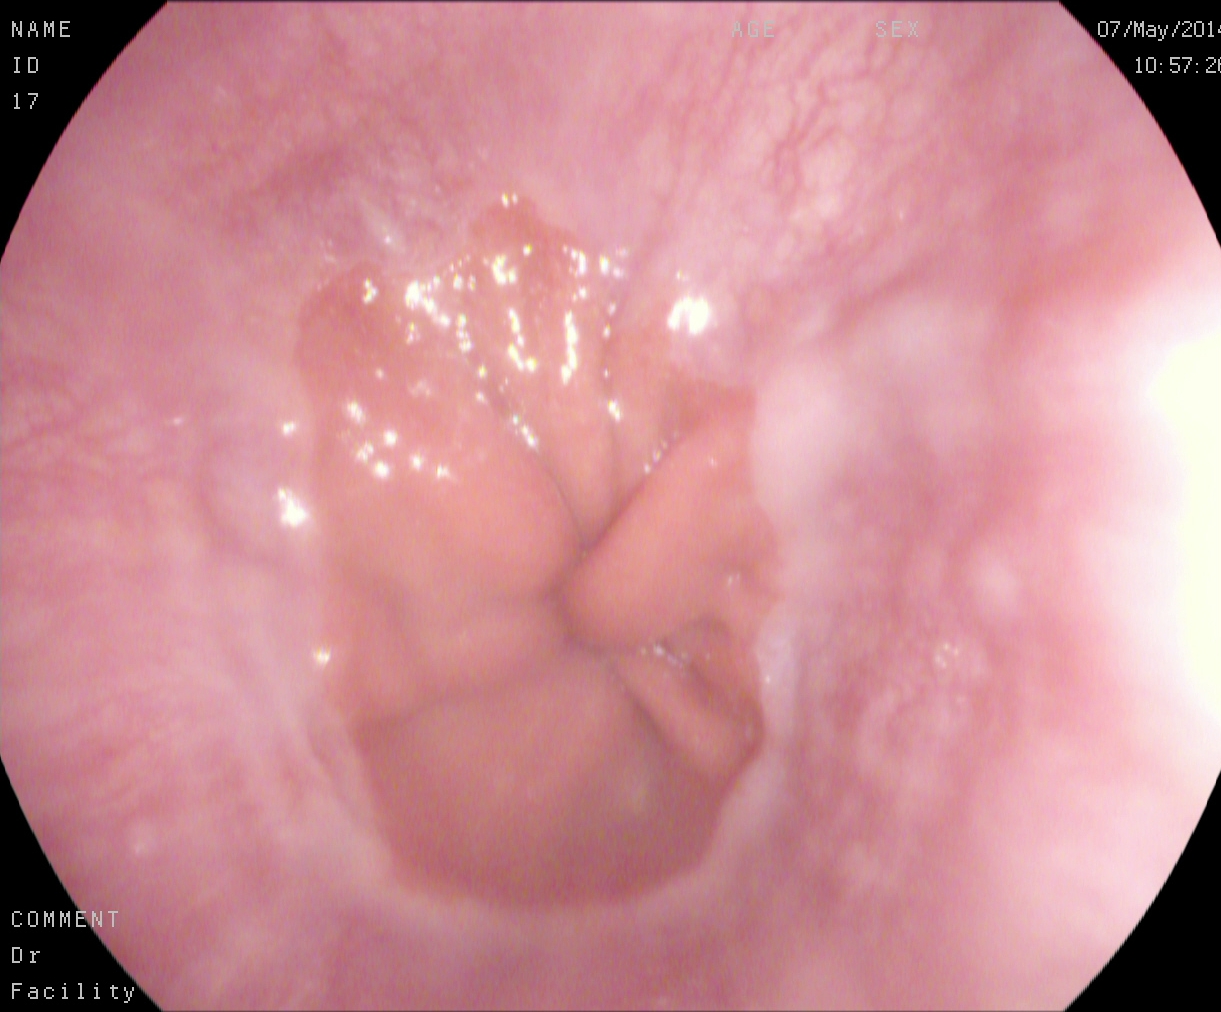Z-line (gastroesophageal junction).